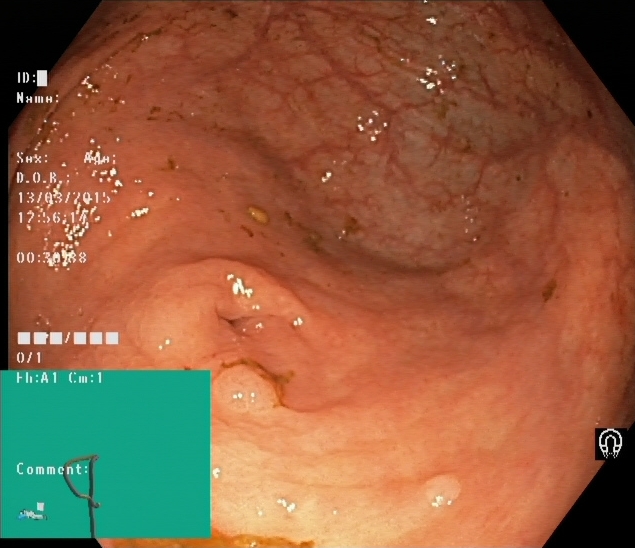Lower-GI endoscopy. Anatomical landmark. Finding: cecum.